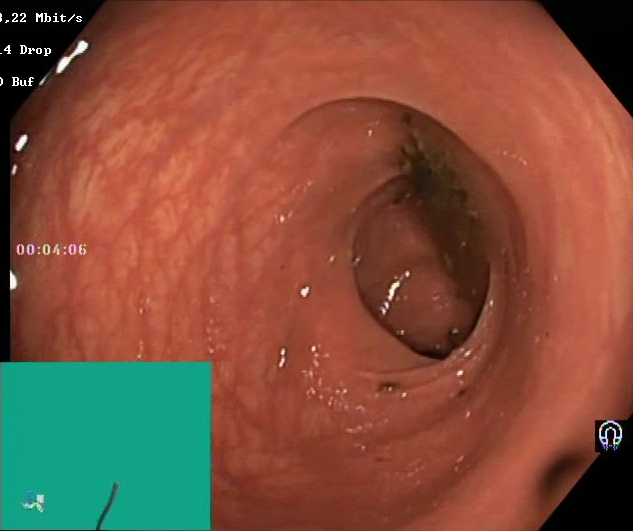modality: colonoscopy | category: mucosal-view quality | finding: Boston Bowel Preparation Scale score 0–1 (inadequate preparation)